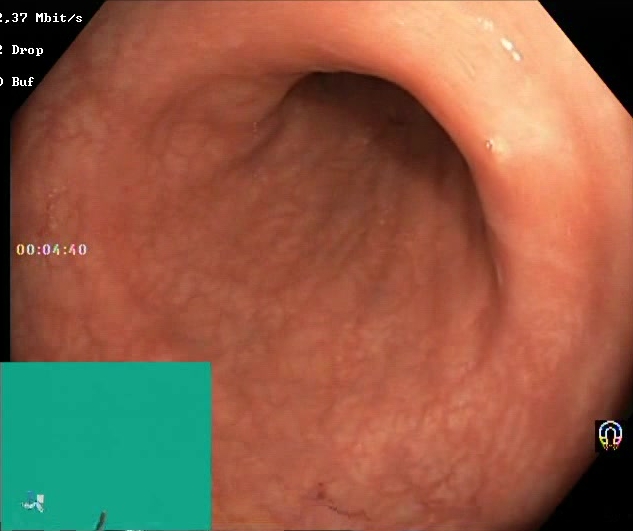{"modality": "colonoscopy", "tract": "lower GI tract", "finding": "Boston Bowel Preparation Scale score 2\u20133 (adequate preparation)"}